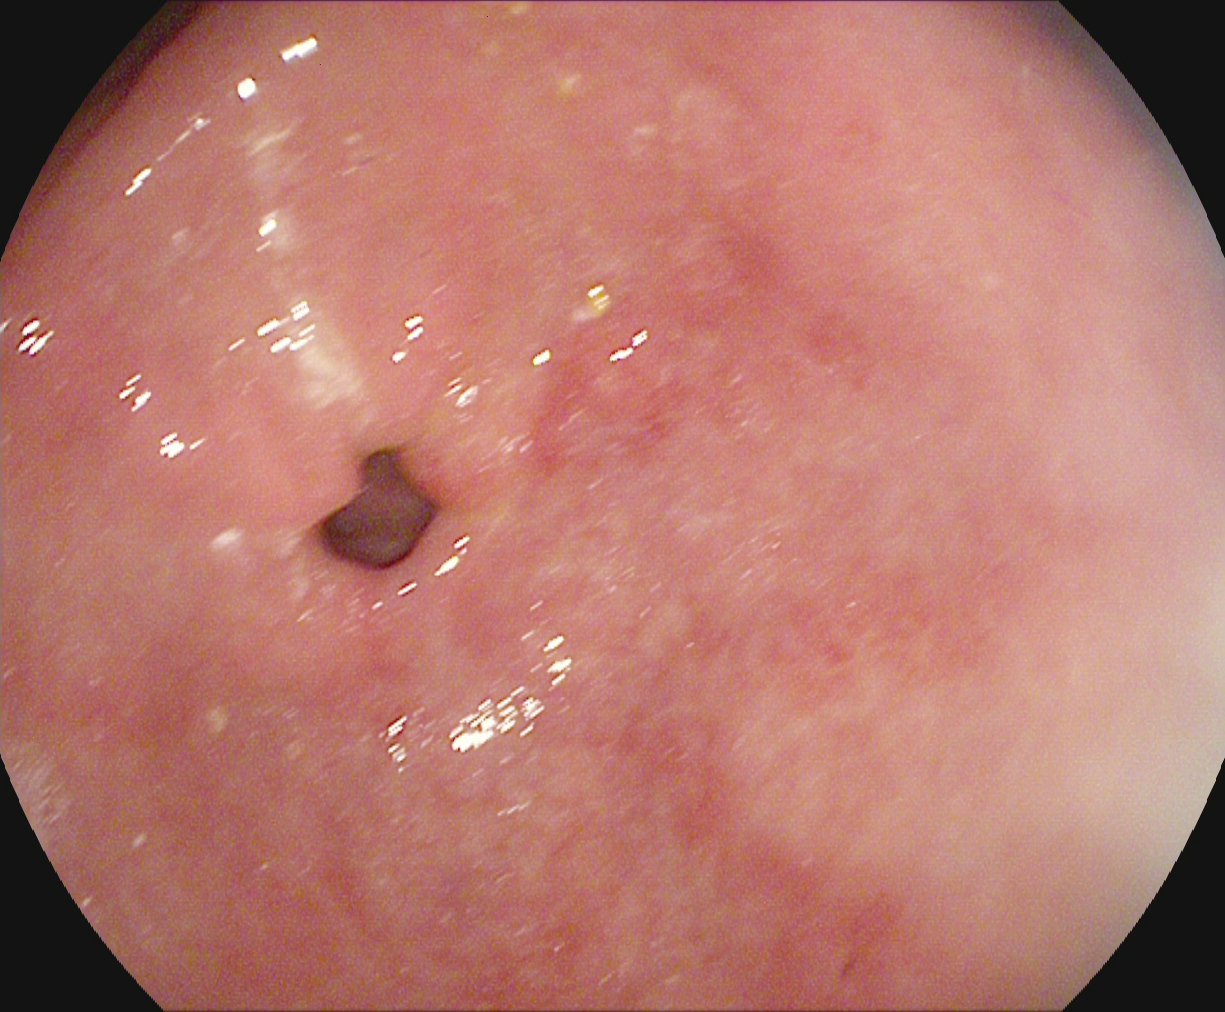EGD — pylorus.